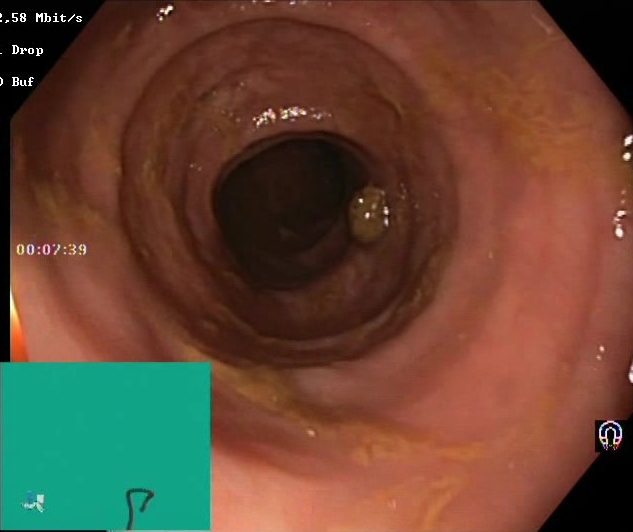Lower-GI endoscopy. Finding: BBPS score 2–3 (adequate preparation).